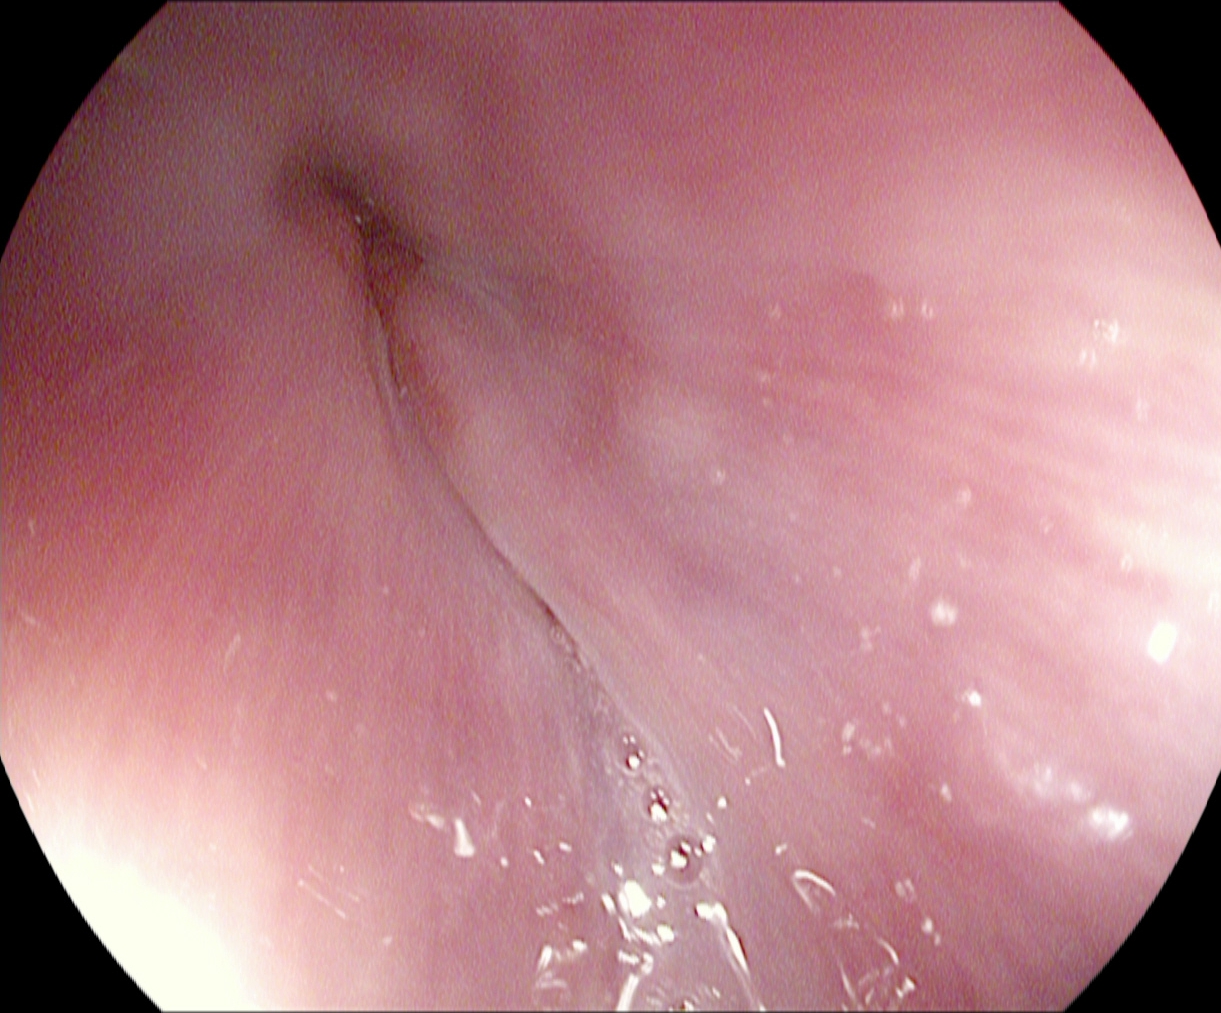EGD image of the upper GI tract showing Z-line (gastroesophageal junction).